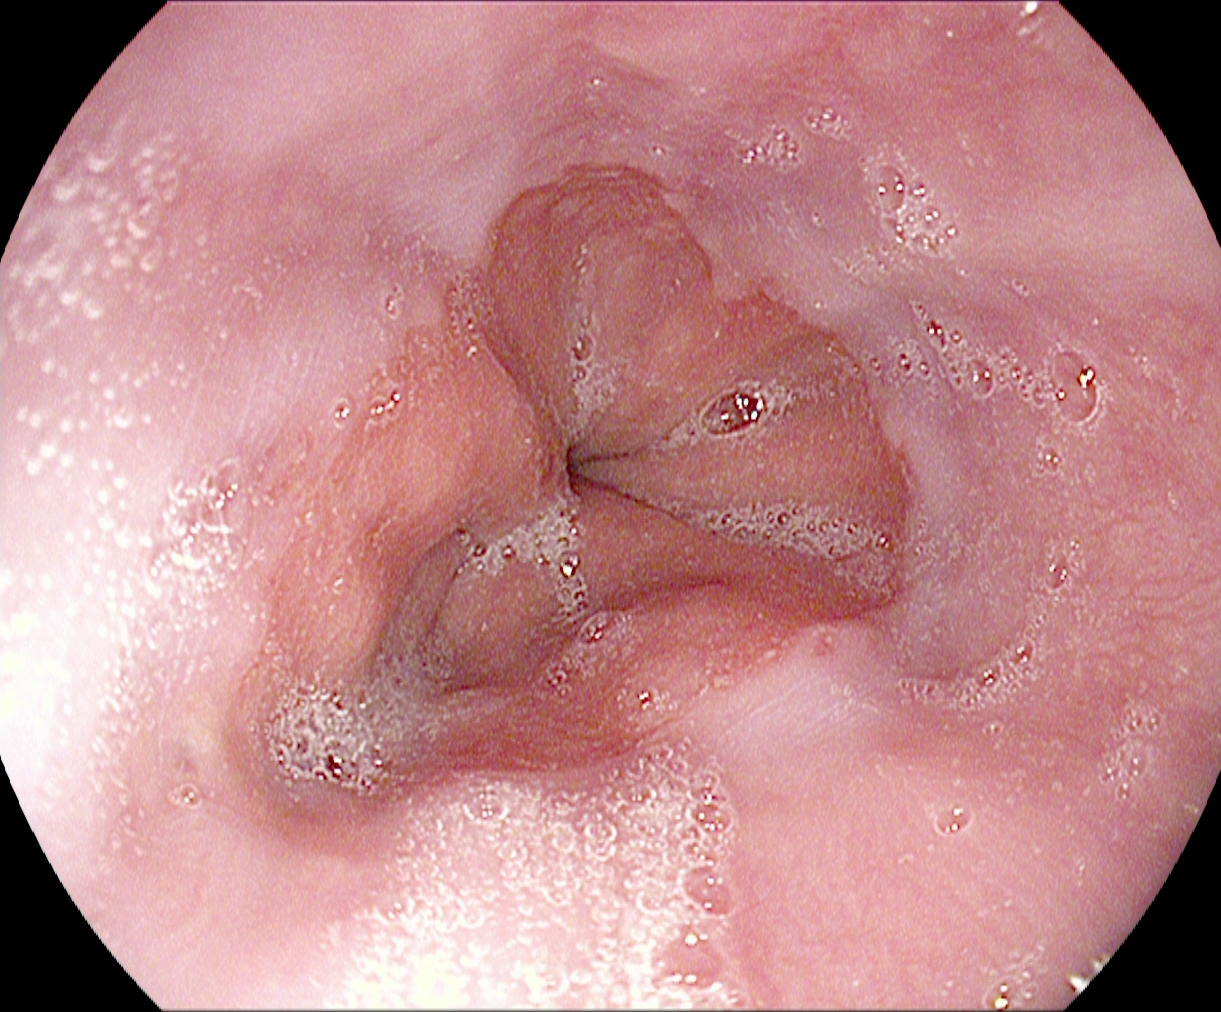Endoscopic frame of the upper GI tract showing Z-line (gastroesophageal junction).